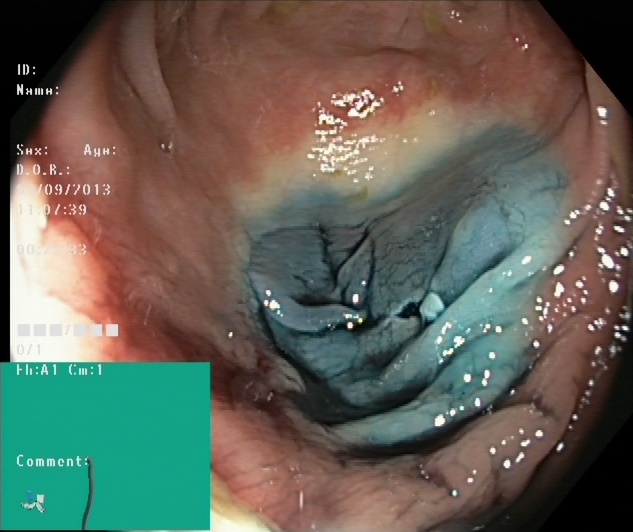modality: lower gastrointestinal endoscopy; finding: dyed resection margins (post-polypectomy)